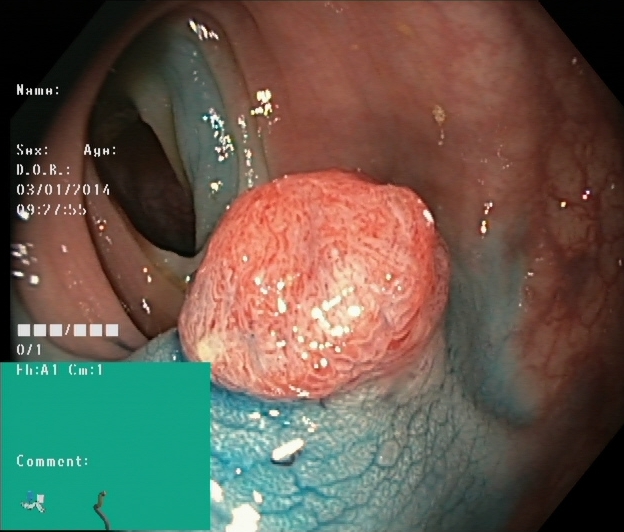{"modality": "lower-GI endoscopy", "tract": "lower GI tract", "category": "therapeutic intervention", "finding": "dyed and lifted polyp (pre-resection)"}